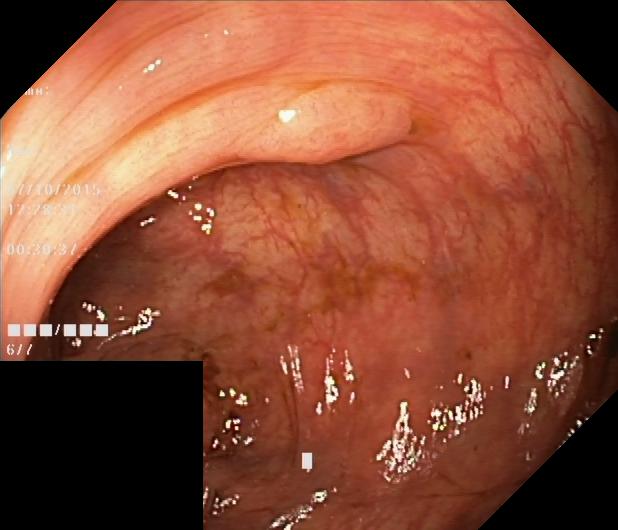Lower gastrointestinal endoscopy. Tract: lower GI tract. Pathological finding. Finding: colorectal polyp(s).